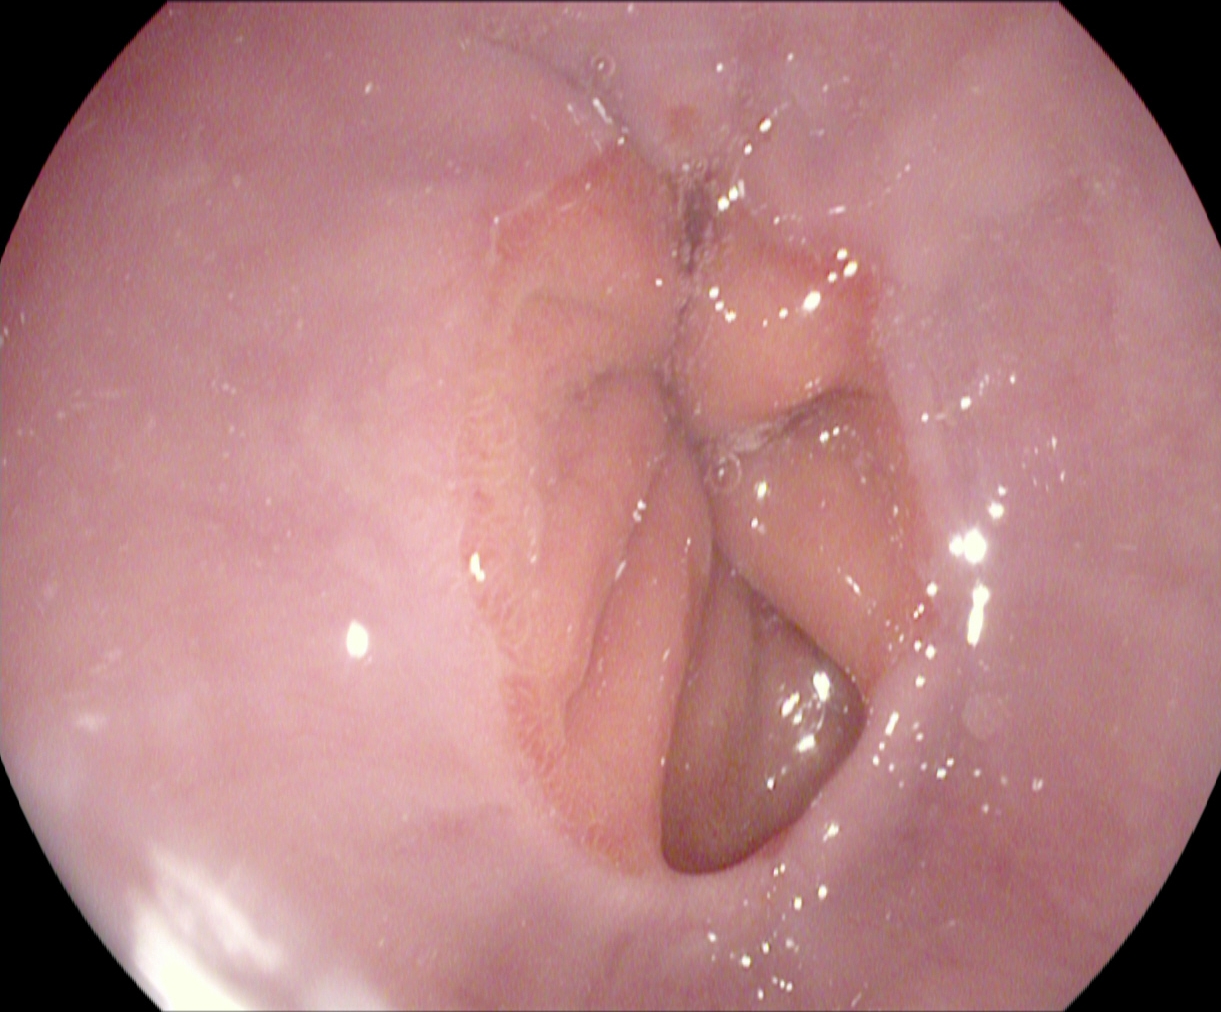Upper-GI endoscopy — Z-line (gastroesophageal junction).